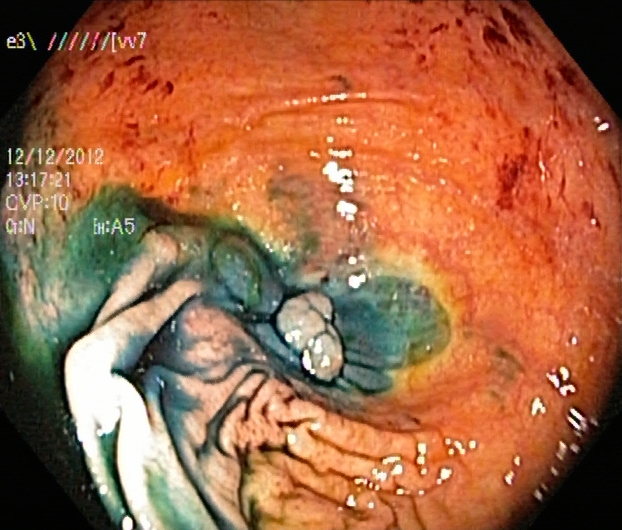Dyed and lifted polyp (pre-resection).